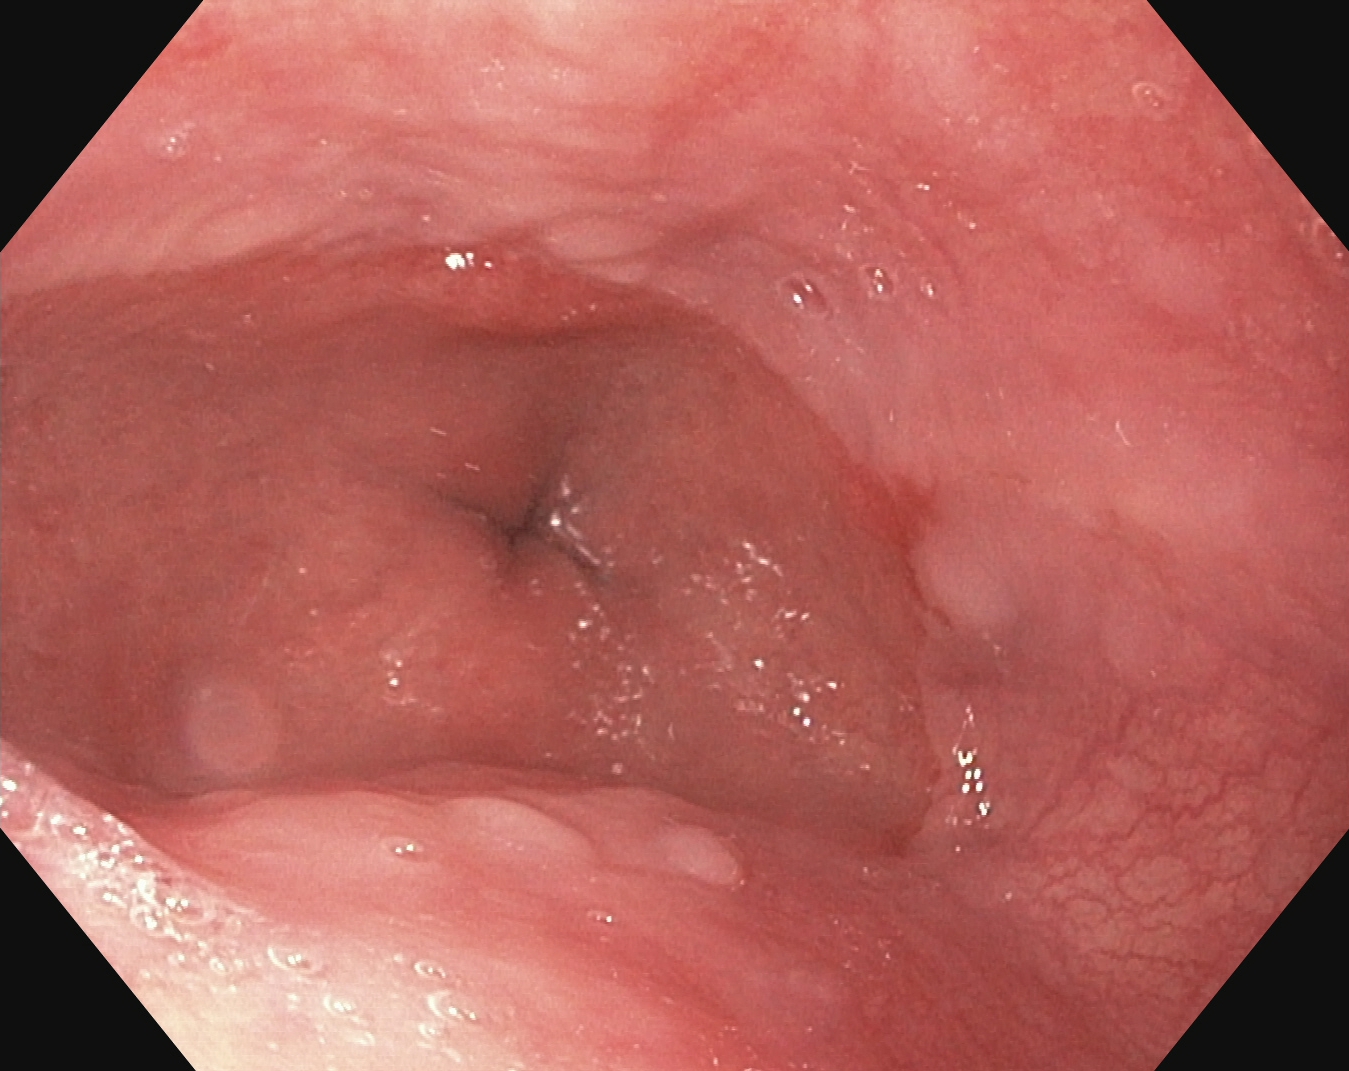modality: EGD; finding: reflux esophagitis, Los Angeles grade A